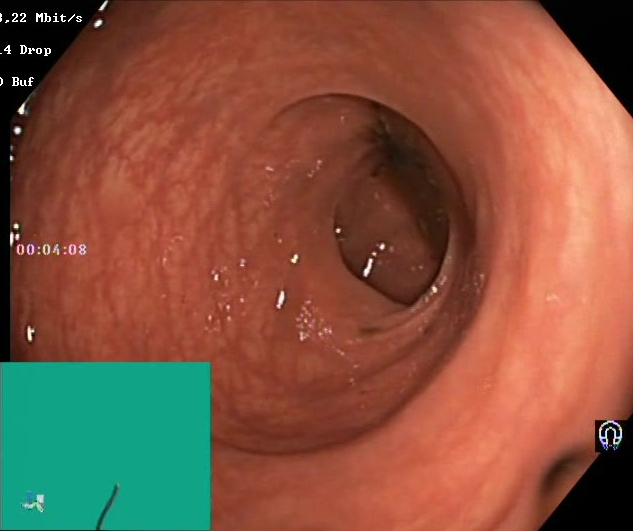This endoscopic image shows Boston Bowel Preparation Scale score 0–1 (inadequate preparation).